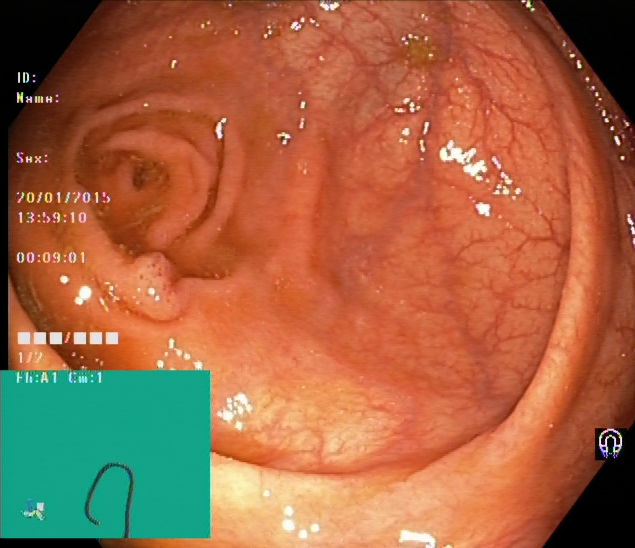Cecum.